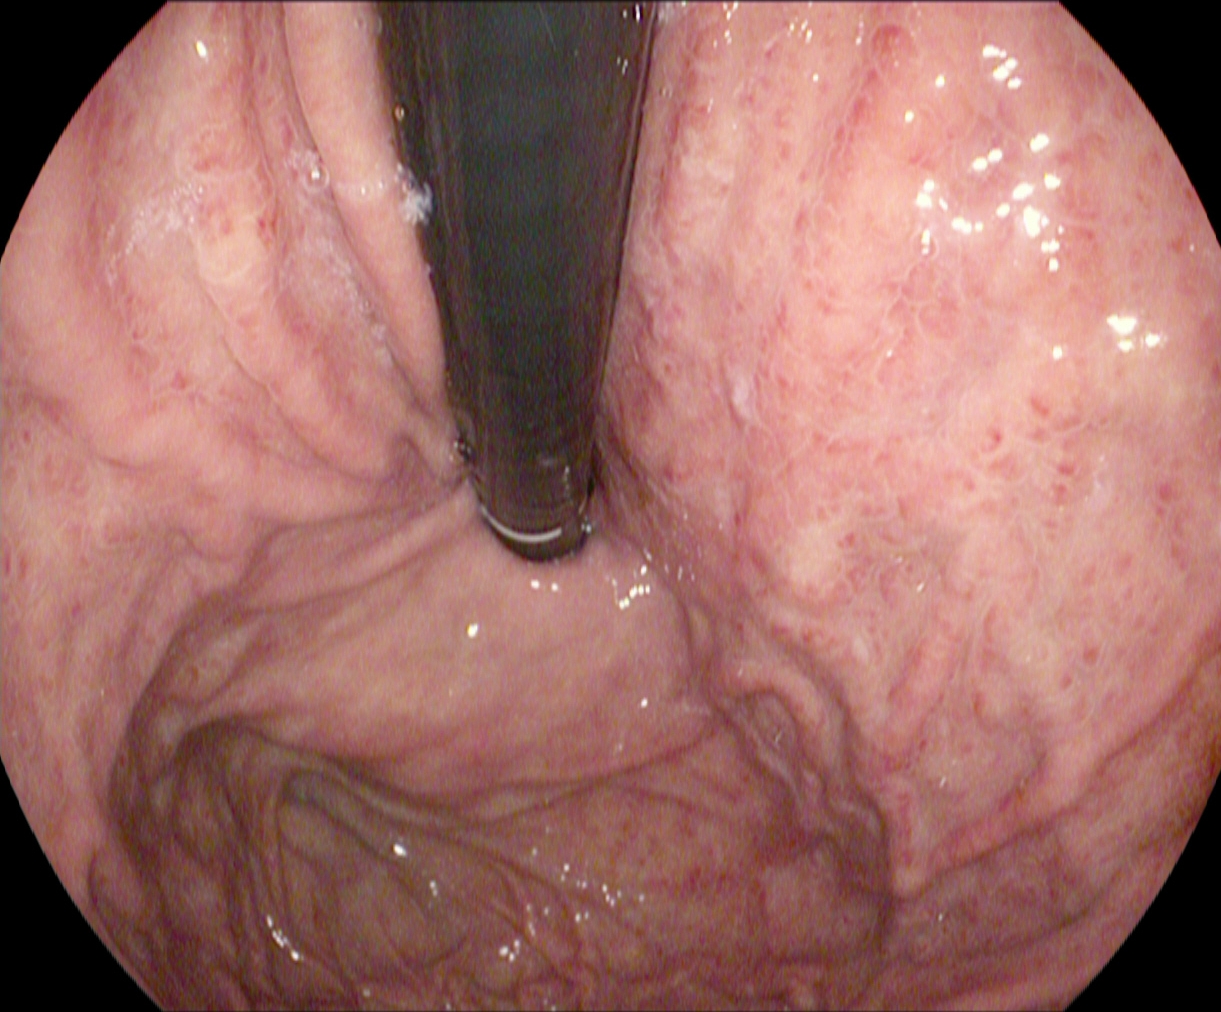{"modality": "EGD", "tract": "upper GI tract", "category": "anatomical landmark", "finding": "stomach in retroflexion"}